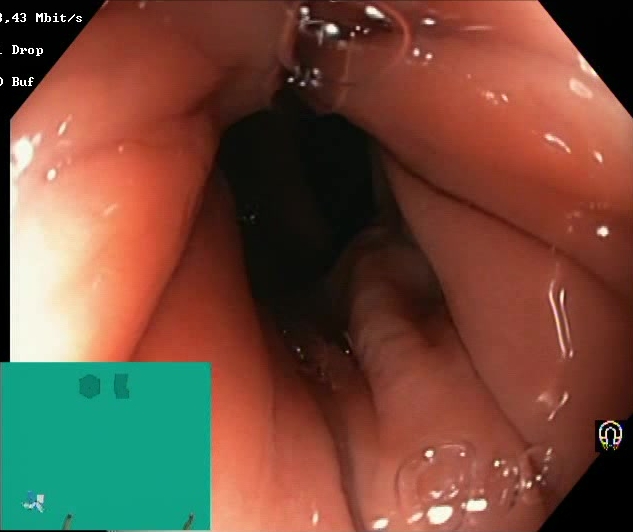Boston Bowel Preparation Scale score 2–3 (adequate preparation).